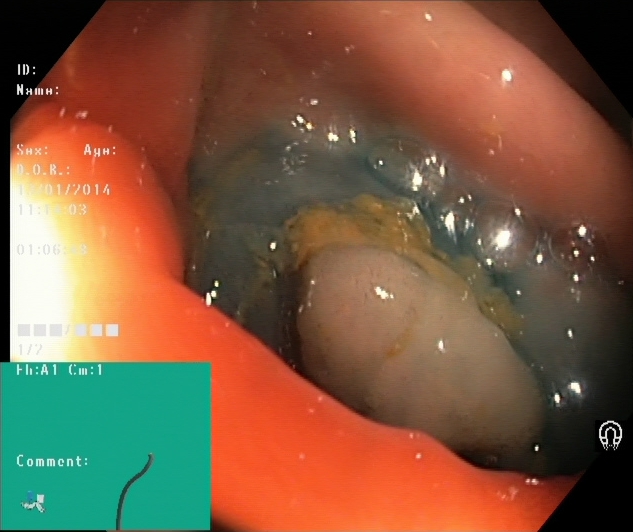Lower gastrointestinal endoscopy. Therapeutic intervention. Finding: dyed and lifted polyp (pre-resection).